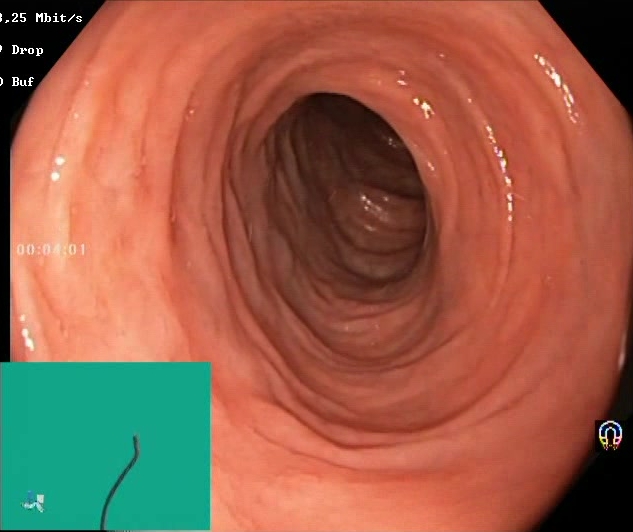modality: lower gastrointestinal endoscopy; category: mucosal-view quality; finding: Boston Bowel Preparation Scale score 2–3 (adequate preparation)